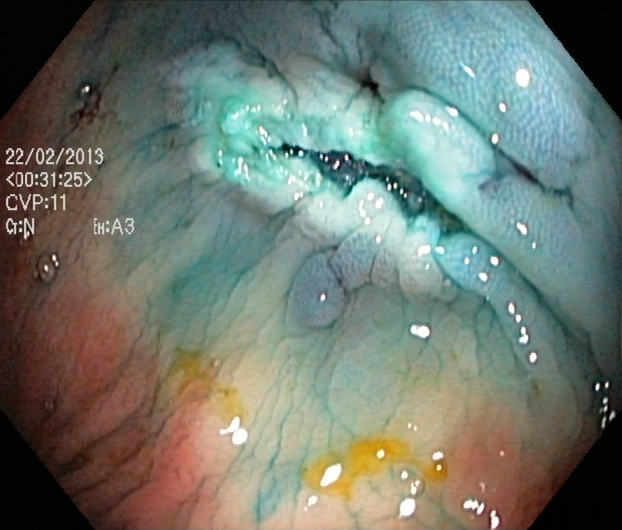{"modality": "colonoscopy", "category": "therapeutic intervention", "finding": "dyed resection margins (post-polypectomy)"}